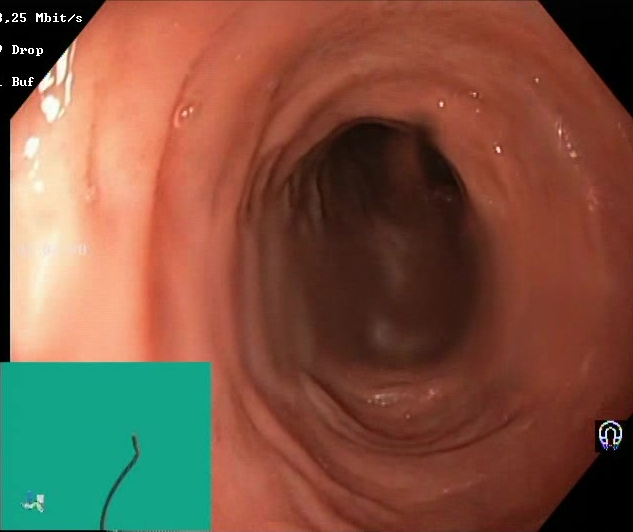BBPS score 2–3 (adequate preparation).